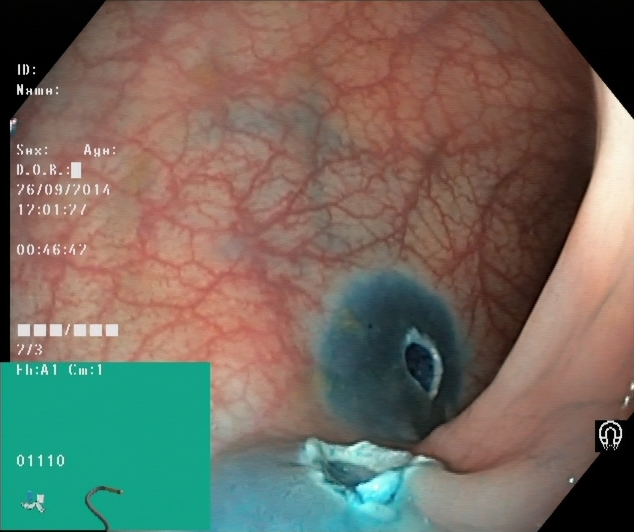PROCEDURE: Lower gastrointestinal endoscopy.
CATEGORY: Therapeutic intervention.
FINDINGS: Dyed resection margins (post-polypectomy).